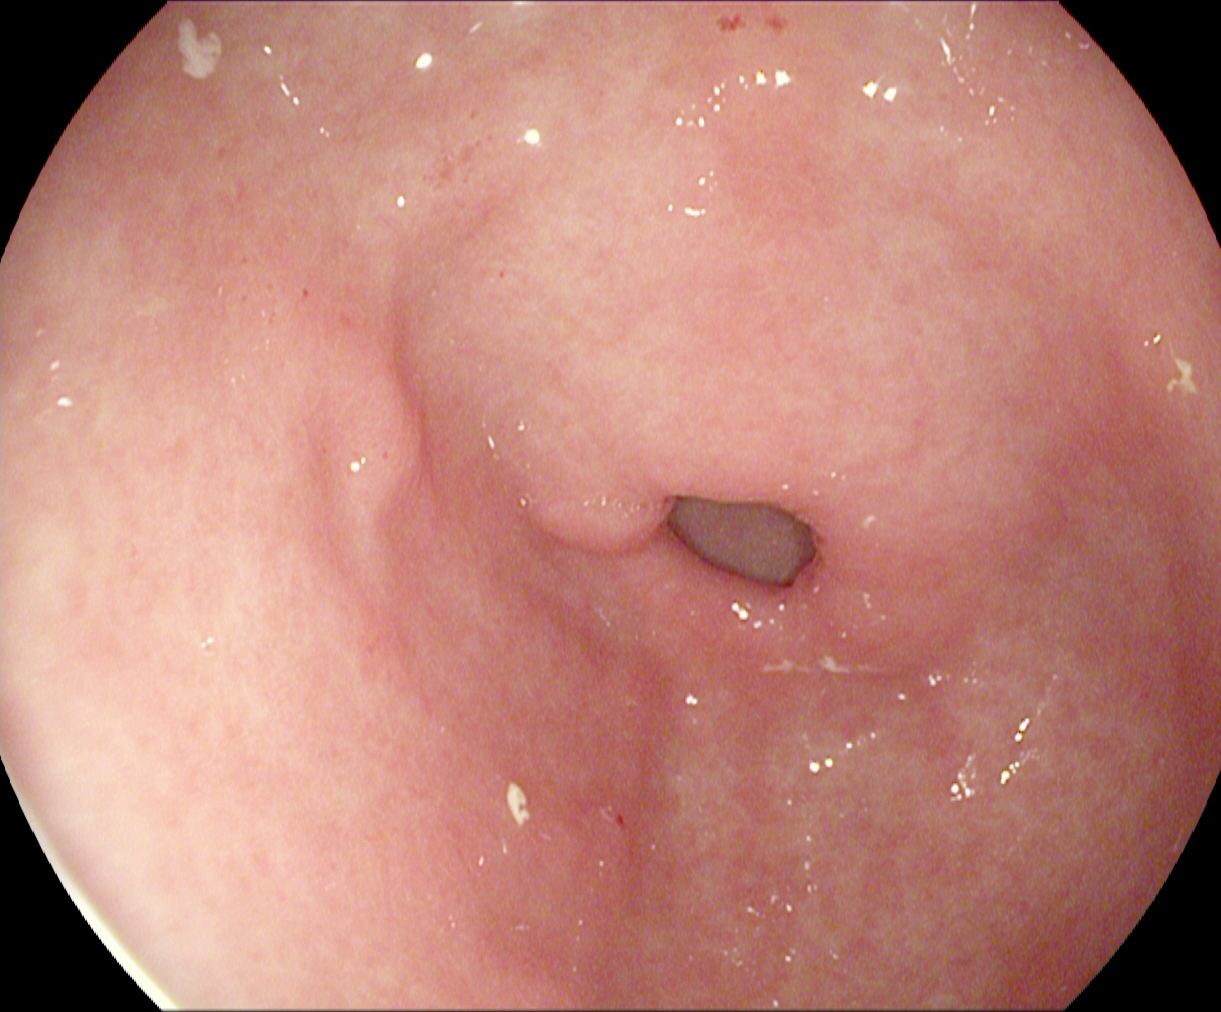modality: gastroscopy | tract: upper GI tract | category: anatomical landmark | finding: pylorus